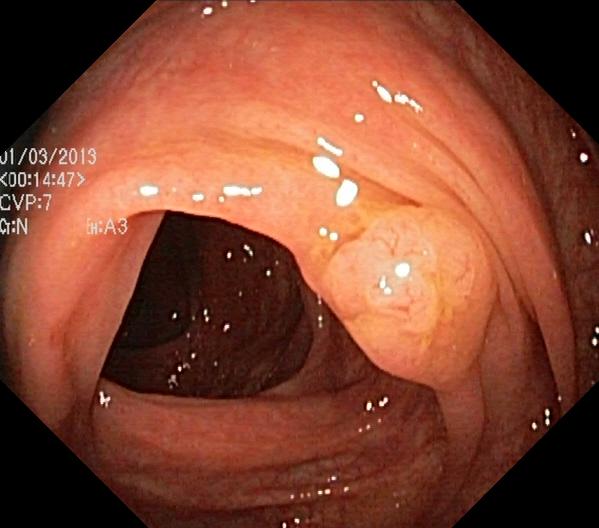Endoscopic frame showing colorectal polyp(s).